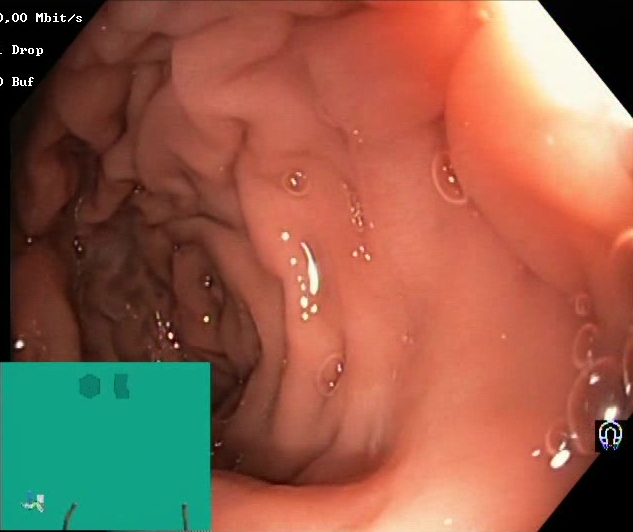Colonoscopy image showing Boston Bowel Preparation Scale score 2–3 (adequate preparation).